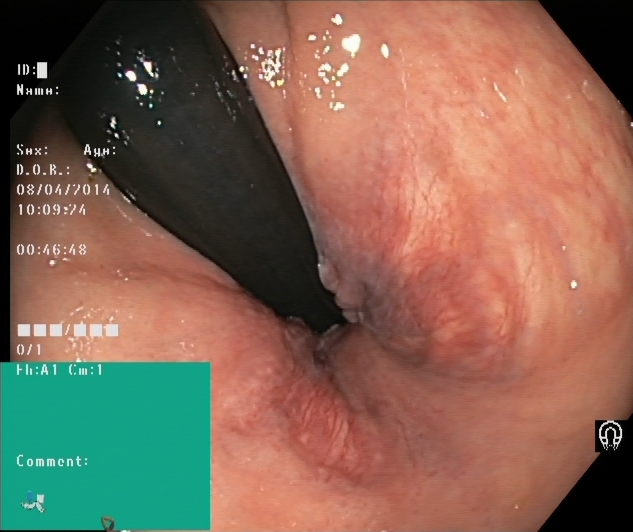Gastrointestinal endoscopy image of the lower GI tract showing rectum in retroflexion.